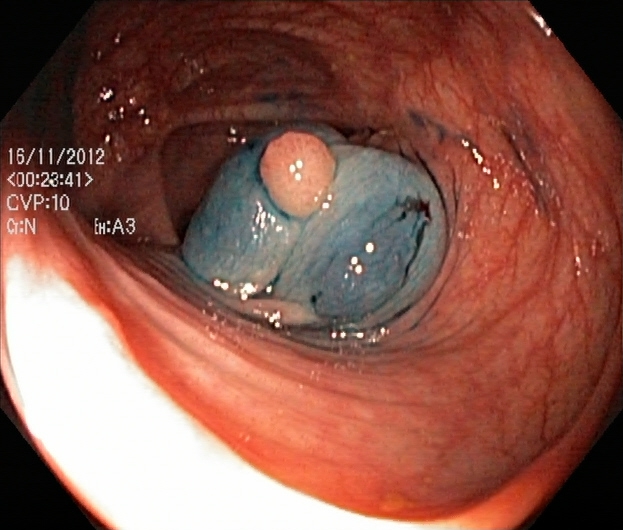Colonoscopy — dyed and lifted polyp (pre-resection).